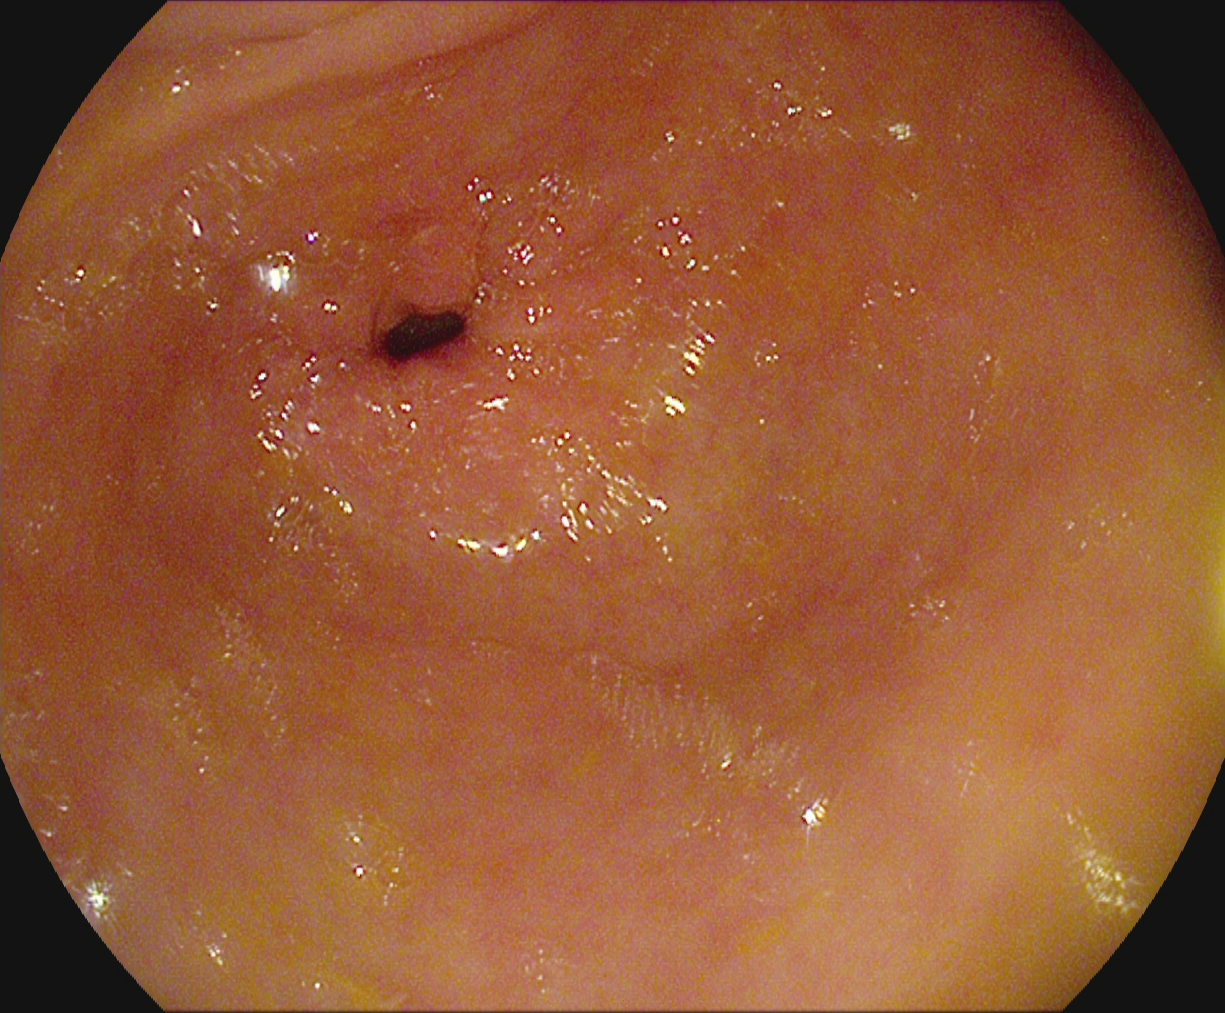PROCEDURE: Upper-GI endoscopy.
CATEGORY: Anatomical landmark.
FINDINGS: Pylorus.